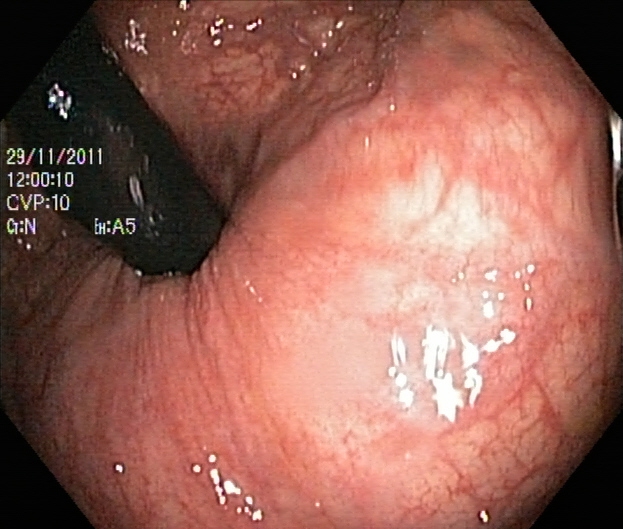modality: lower-GI endoscopy
finding: rectum in retroflexion